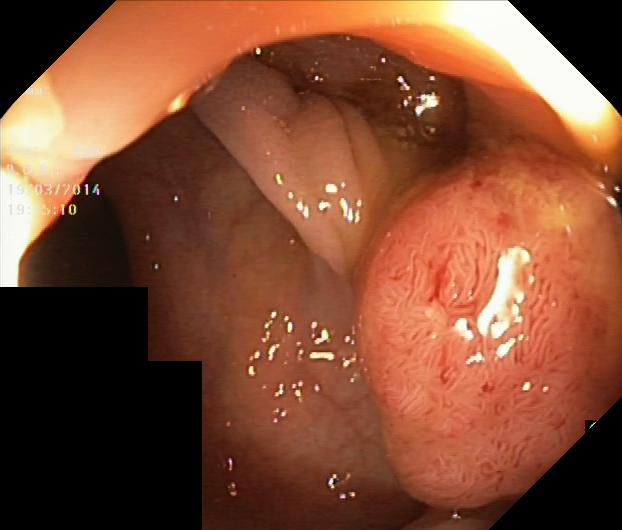Endoscopy image showing colorectal polyp(s).